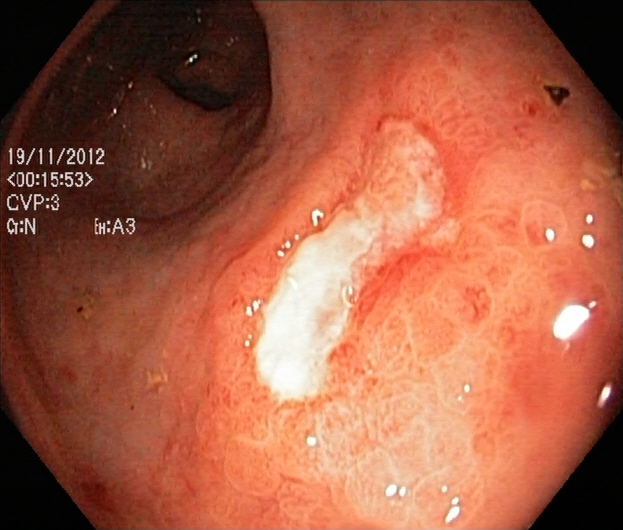UC, Mayo endoscopic subscore 3.